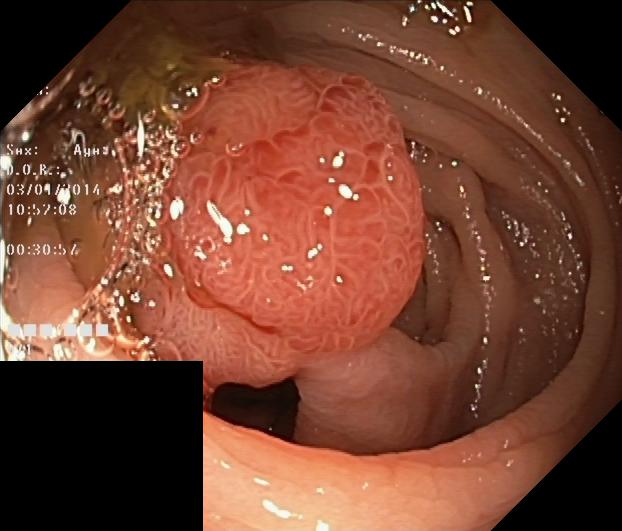Colorectal polyp(s).